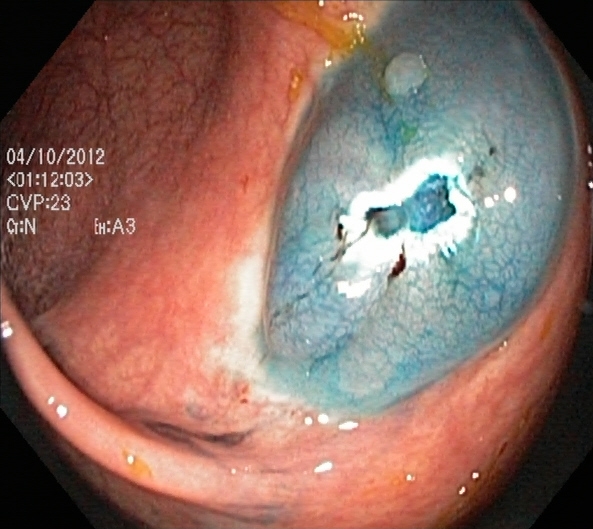Colonoscopy — dyed resection margins (post-polypectomy).